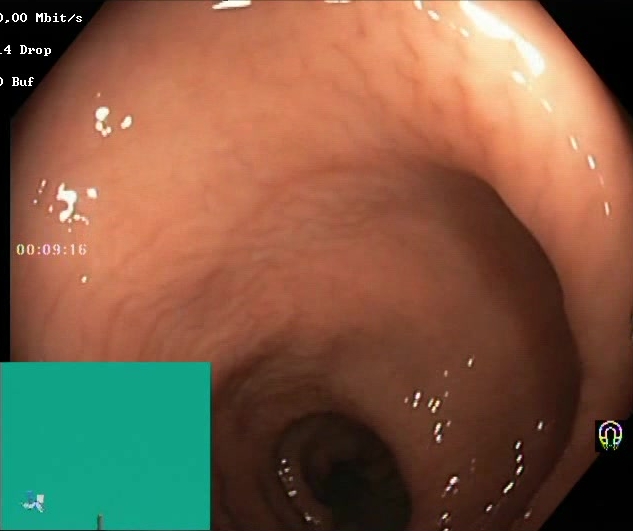Colonoscopy — Boston Bowel Preparation Scale score 2–3 (adequate preparation).